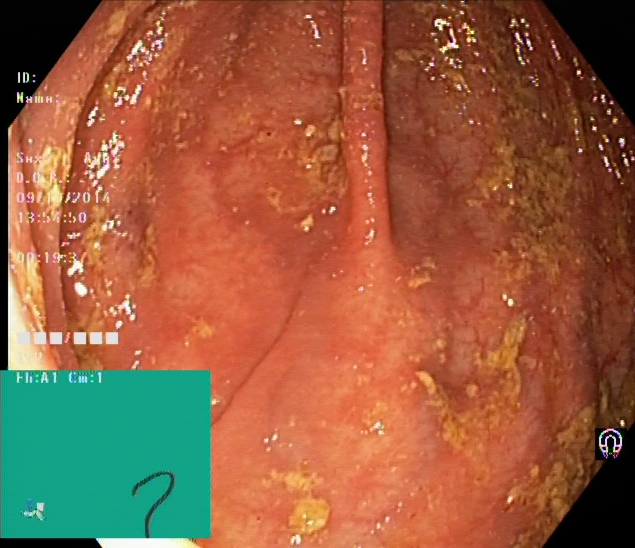modality: colonoscopy | tract: lower GI tract | category: pathological finding | finding: UC, Mayo endoscopic subscore 1